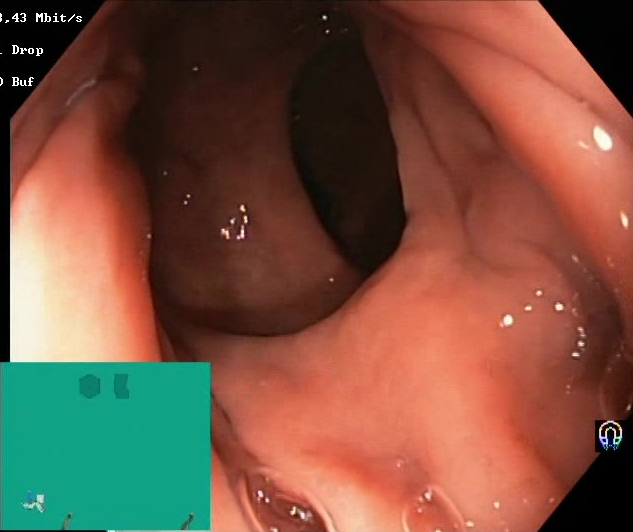BBPS score 2–3 (adequate preparation).